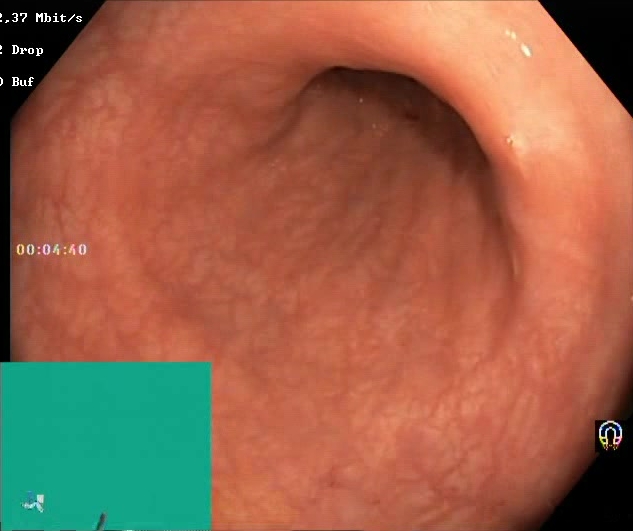Boston Bowel Preparation Scale score 2–3 (adequate preparation).